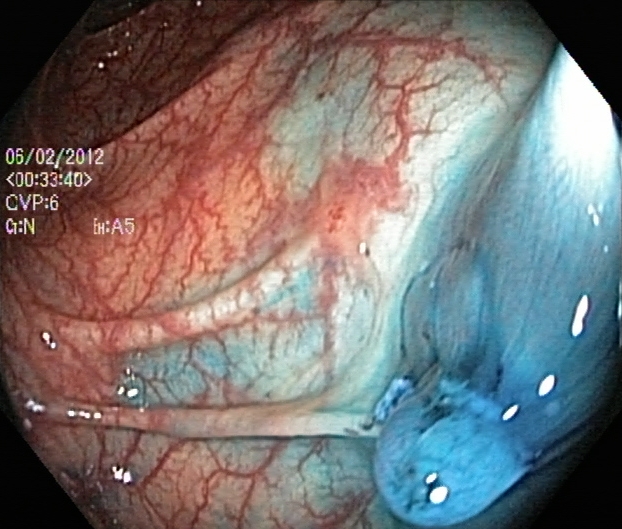This endoscopic image shows dyed and lifted polyp (pre-resection).